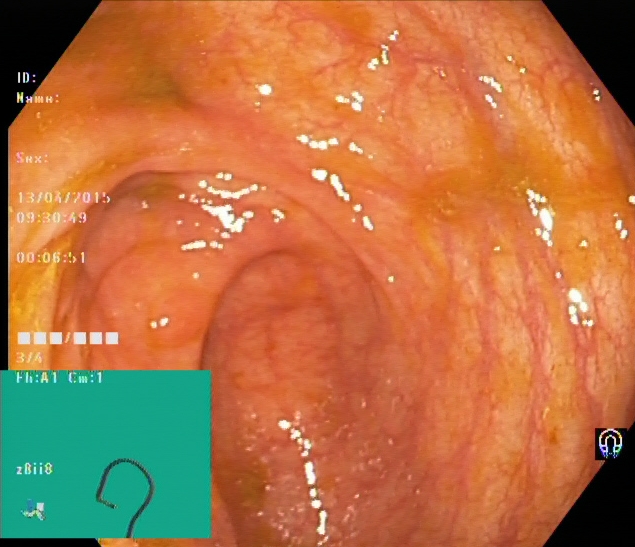This endoscopic image of the lower GI tract shows cecum.